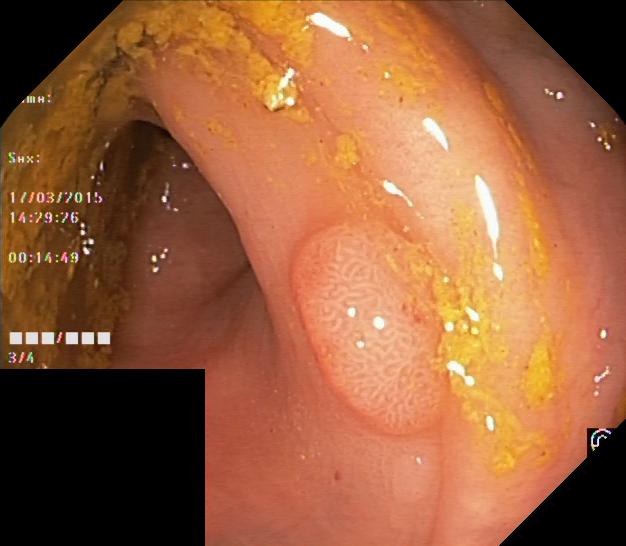Colonoscopy. Finding: colorectal polyp(s).